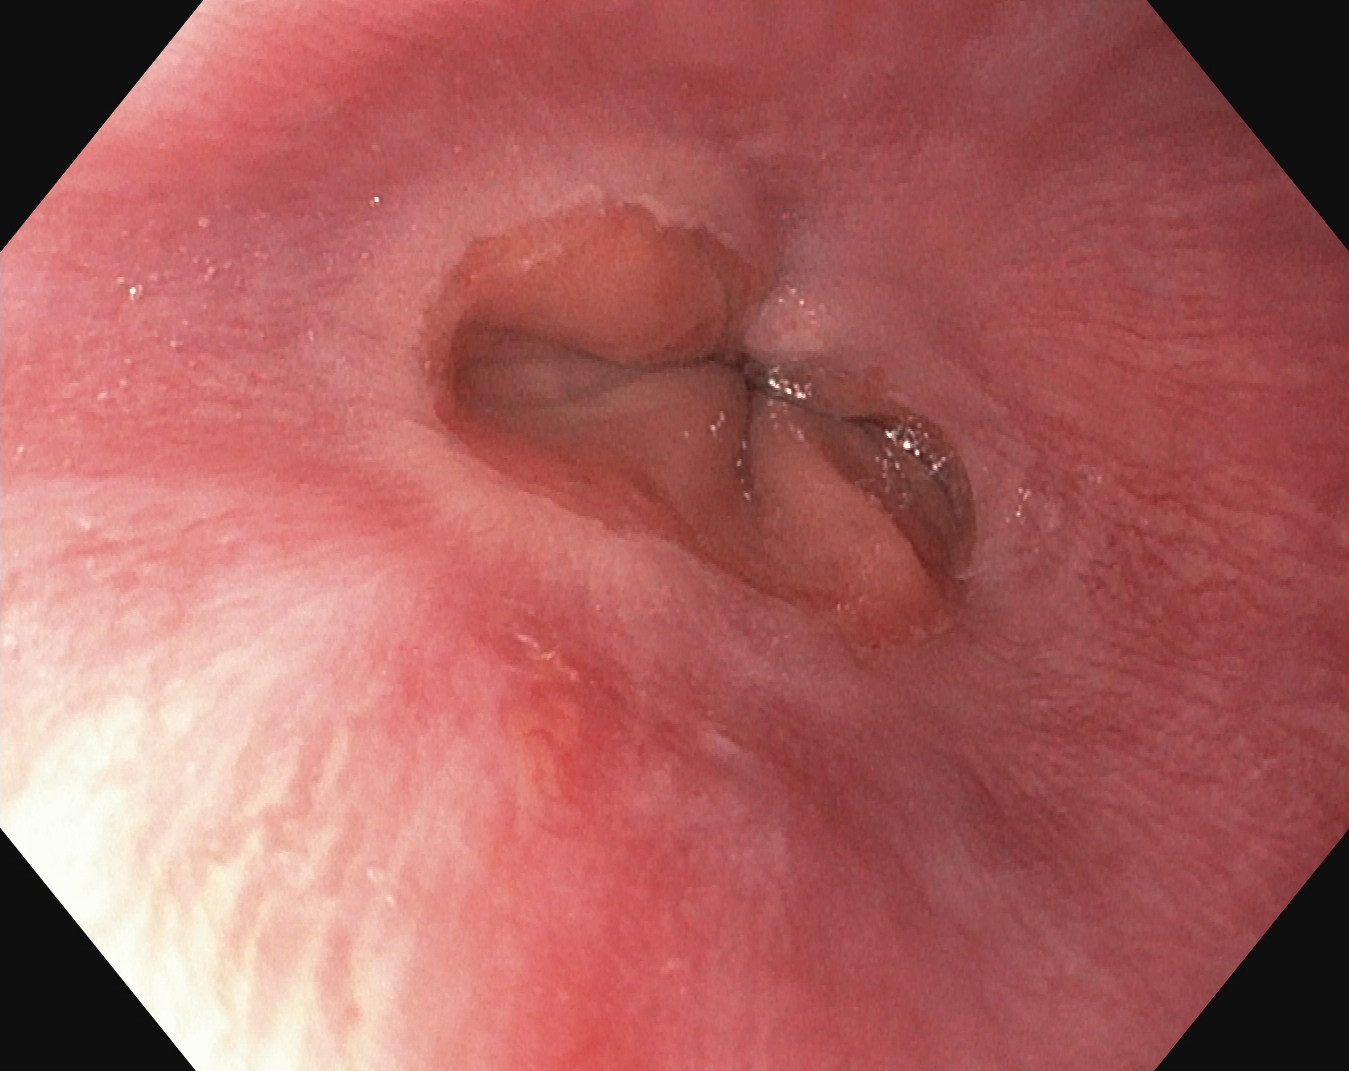Upper-GI endoscopy. Anatomical landmark. Finding: Z-line (gastroesophageal junction).